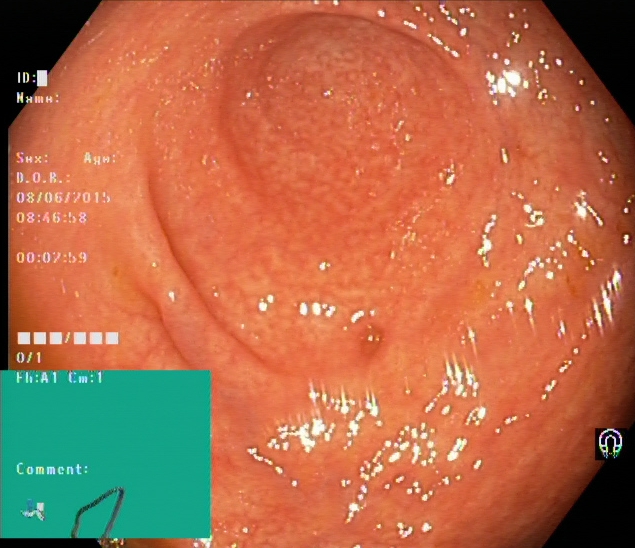This endoscopy frame shows cecum.